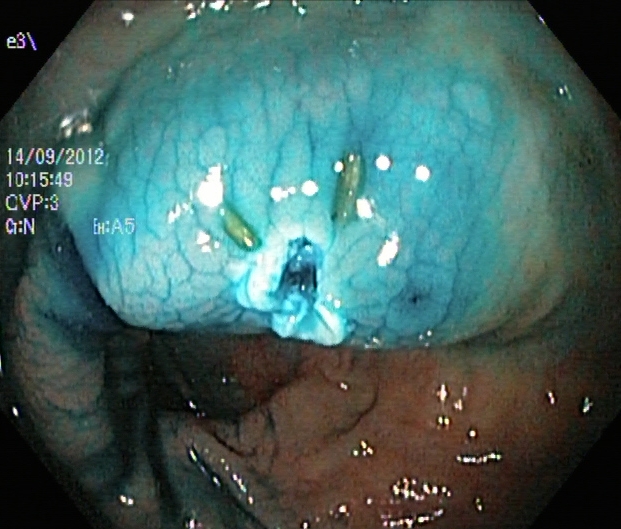Lower-GI endoscopy. Tract: lower GI tract. Finding: dyed resection margins (post-polypectomy).